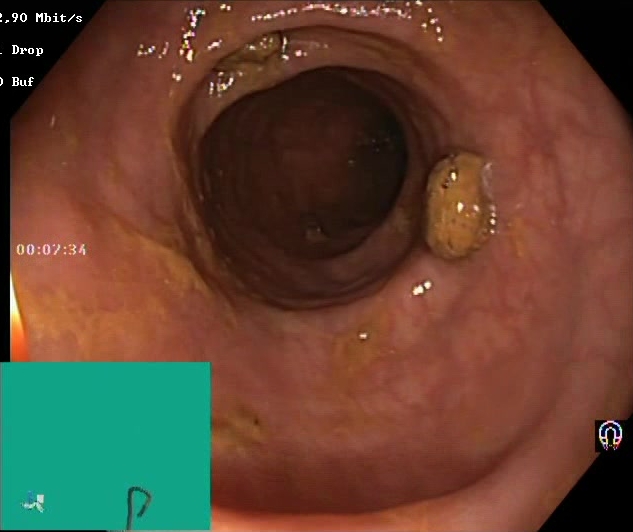PROCEDURE: Lower gastrointestinal endoscopy.
CATEGORY: Mucosal-view quality.
FINDINGS: Impacted stool.